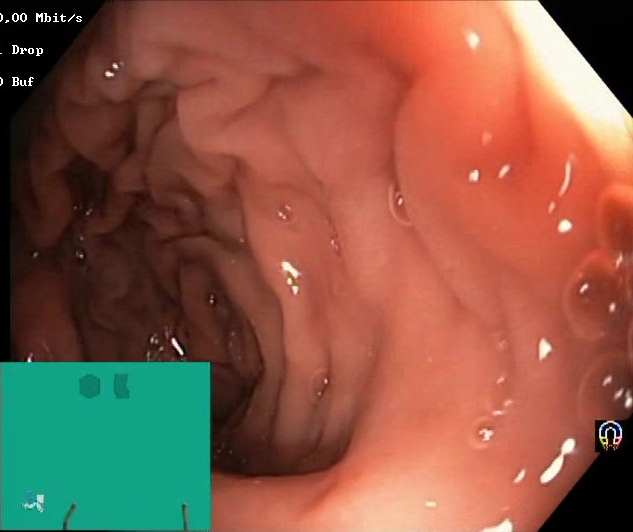Boston Bowel Preparation Scale score 2–3 (adequate preparation).